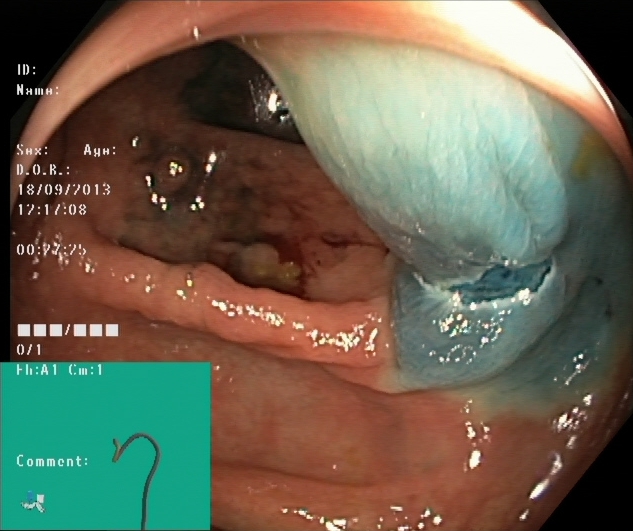This endoscopy frame of the lower GI tract shows dyed resection margins (post-polypectomy).